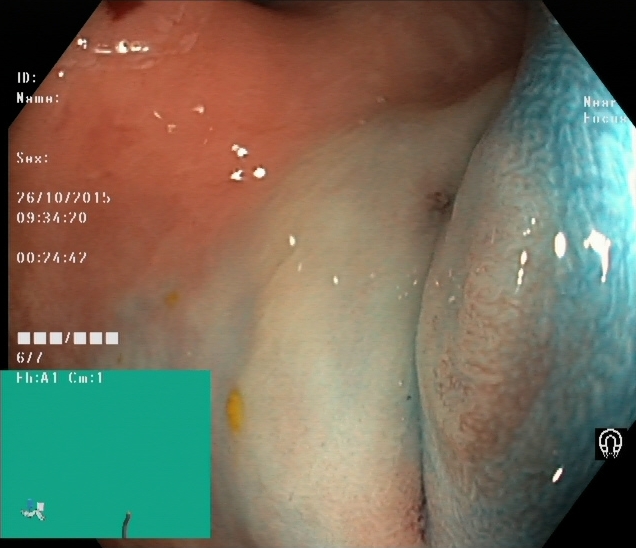Lower gastrointestinal endoscopy — dyed and lifted polyp (pre-resection).